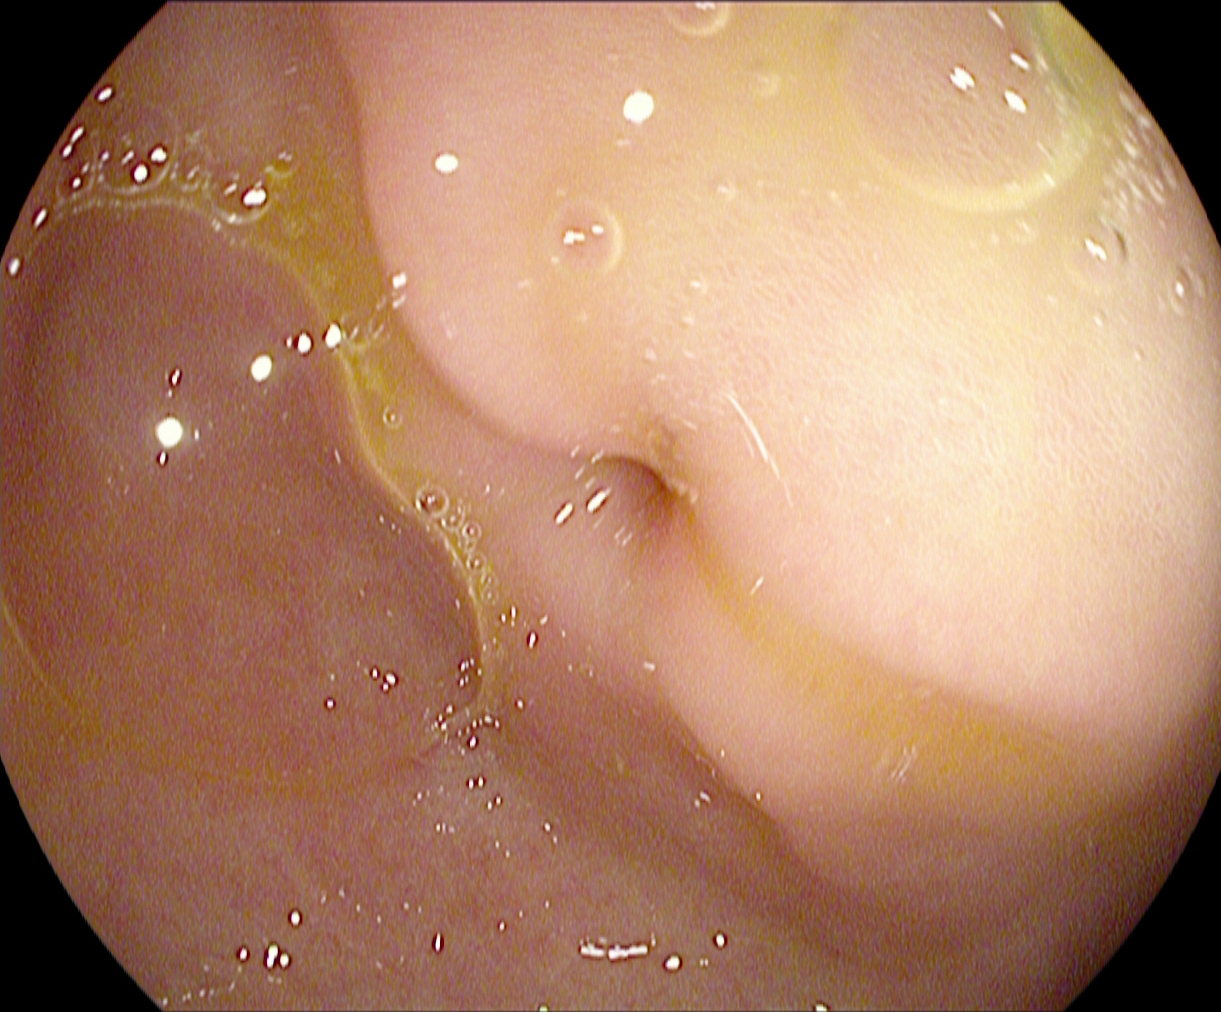Pylorus.